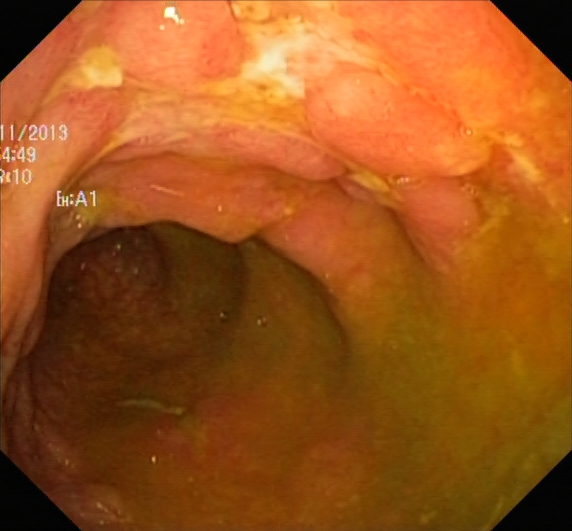This endoscopic image shows ulcerative colitis, Mayo endoscopic subscore 2.